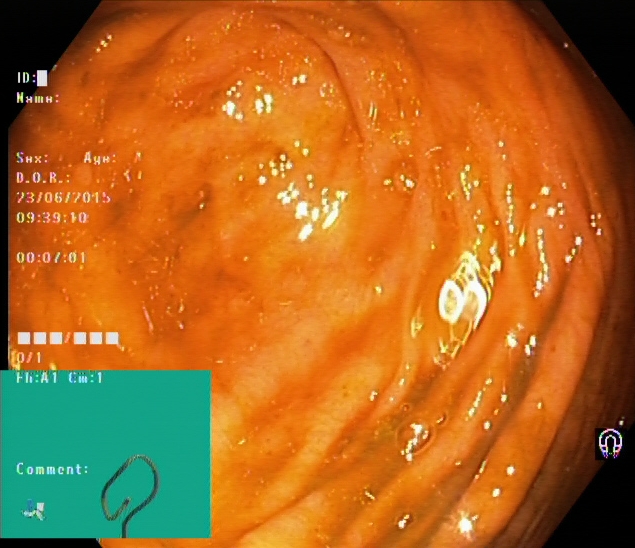Lower gastrointestinal endoscopy. Tract: lower GI tract. Anatomical landmark. Finding: cecum.